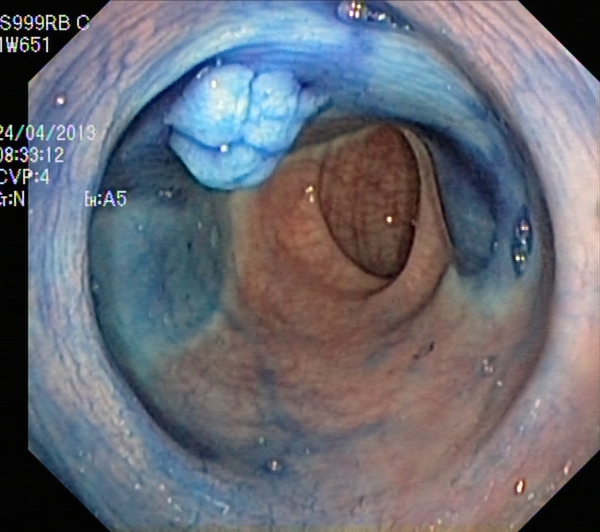modality: colonoscopy
tract: lower GI tract
finding: dyed and lifted polyp (pre-resection)